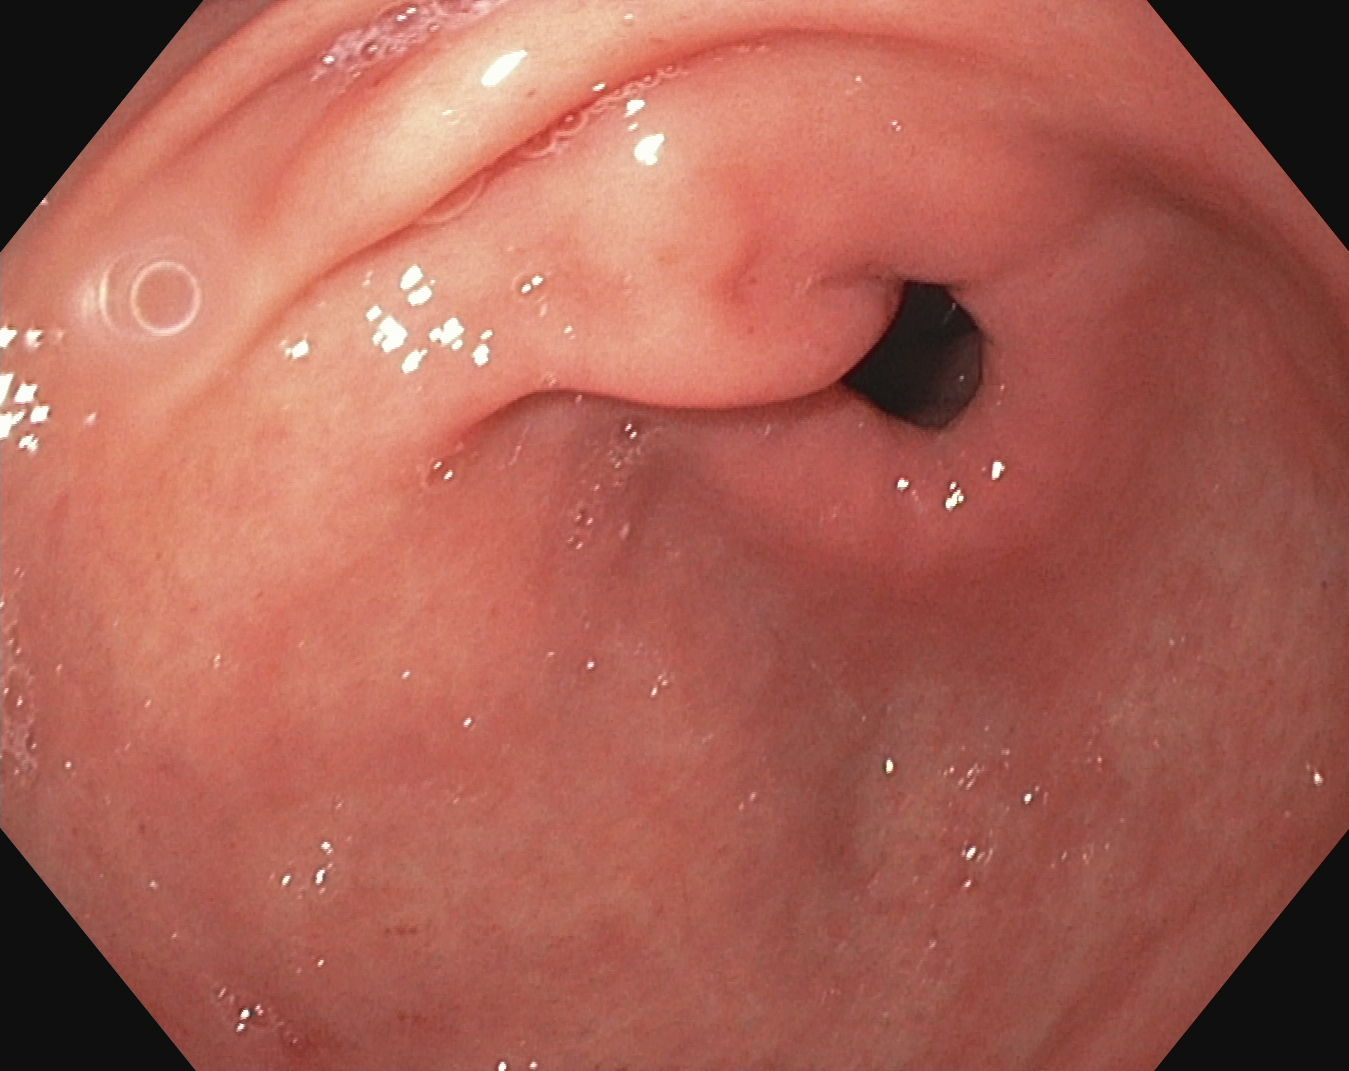modality: gastroscopy; tract: upper GI tract; finding: pylorus